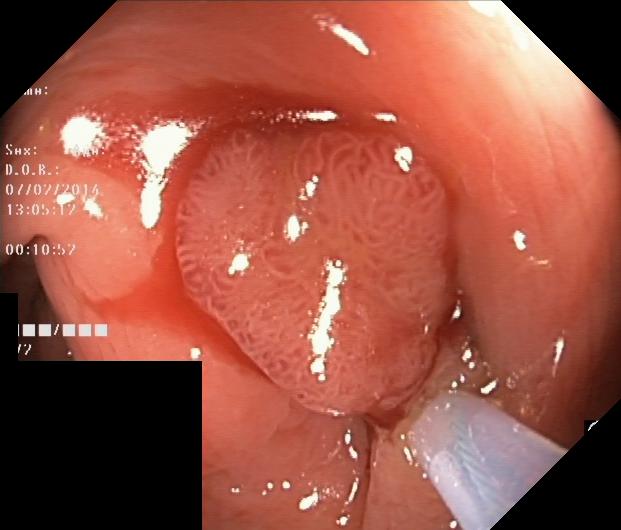Lower gastrointestinal endoscopy. Tract: lower GI tract. Finding: colorectal polyp(s).